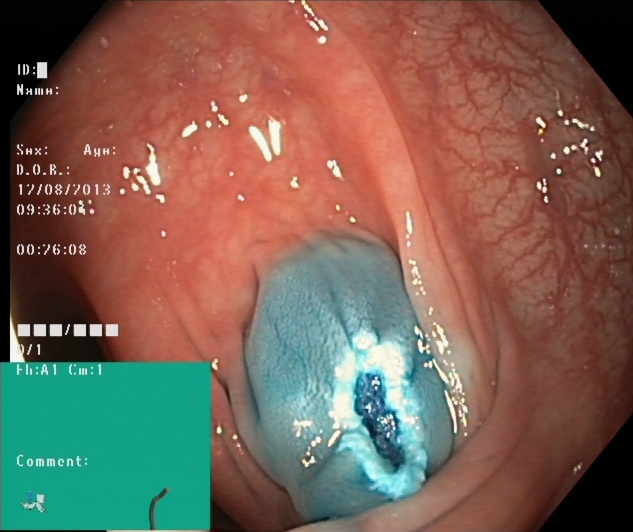GI endoscopy image of the lower GI tract showing dyed resection margins (post-polypectomy).